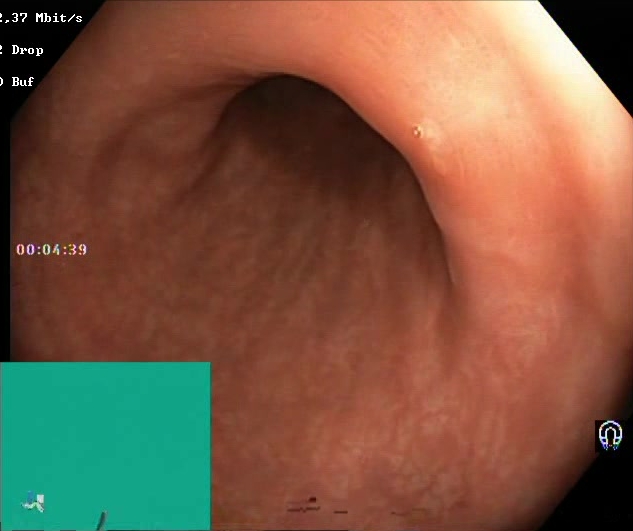Colonoscopy. Mucosal-view quality. Finding: BBPS score 2–3 (adequate preparation).